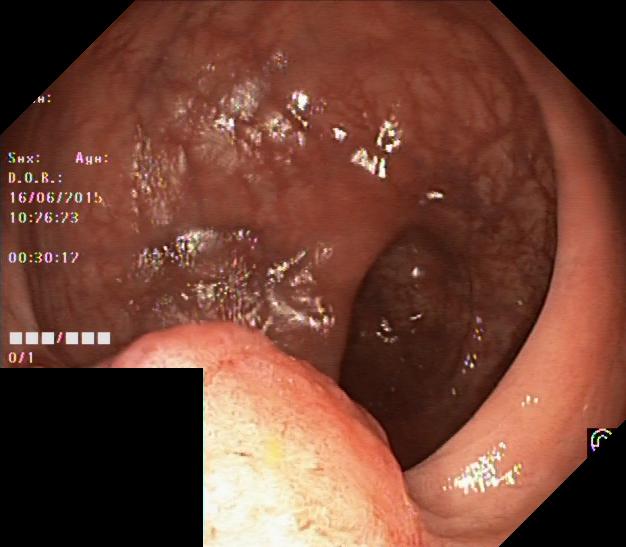Gastrointestinal endoscopy image of the lower GI tract showing colorectal polyp(s).